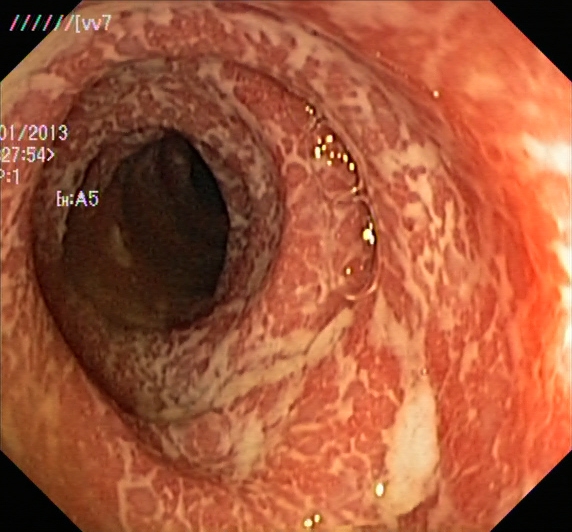Colonoscopy. Tract: lower GI tract. Finding: UC, Mayo endoscopic subscore 2.